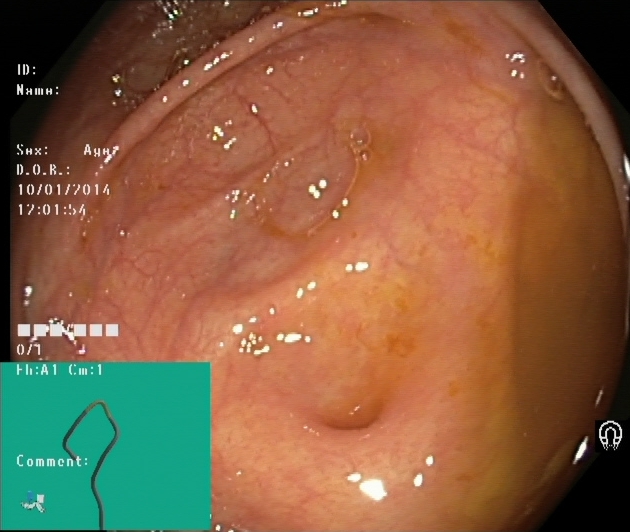modality: colonoscopy; tract: lower GI tract; finding: cecum